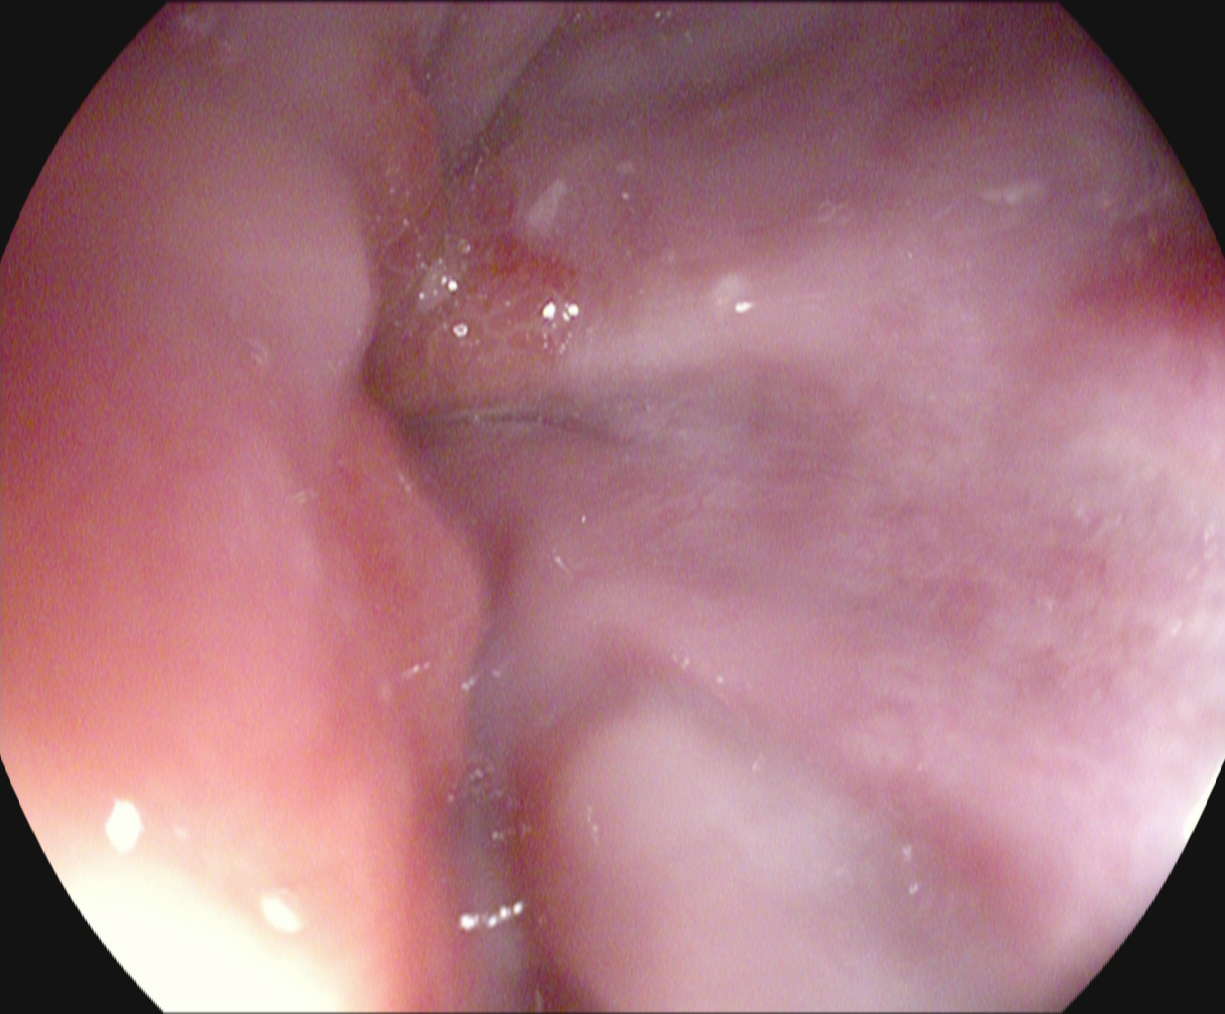Z-line (gastroesophageal junction).